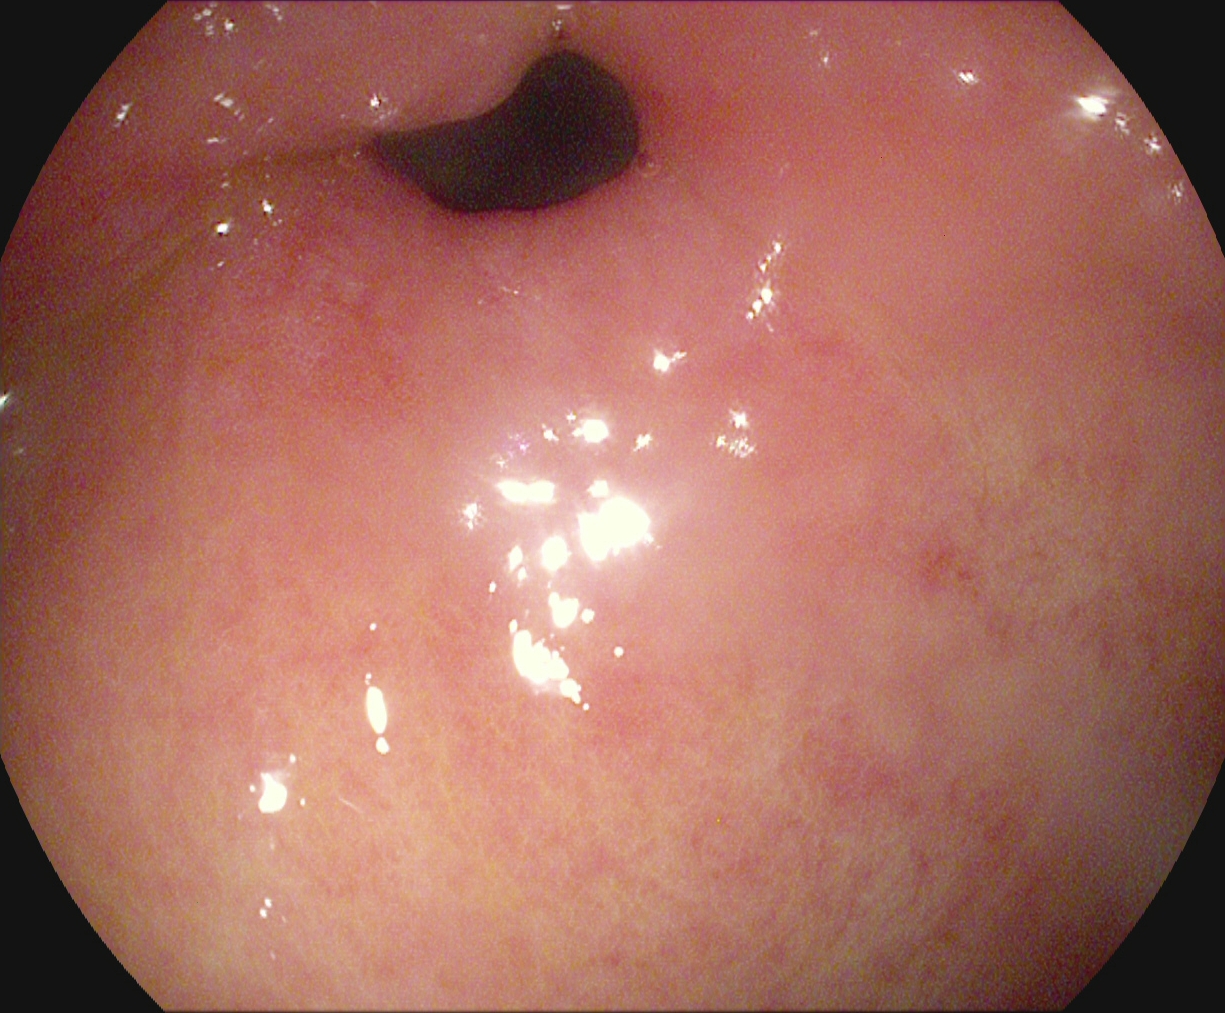This endoscopy frame shows pylorus.